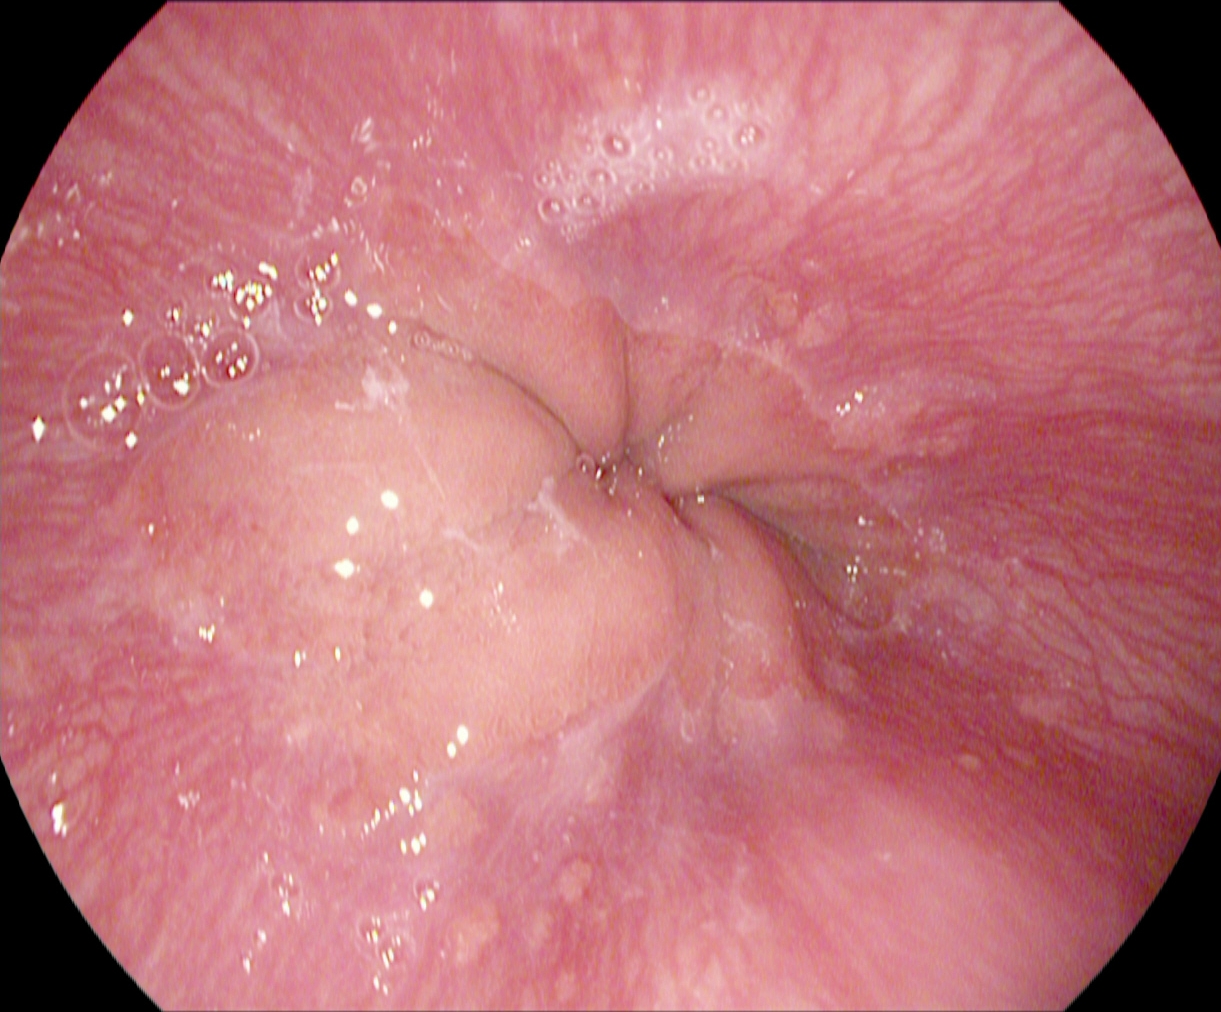Endoscopic image showing Z-line (gastroesophageal junction).